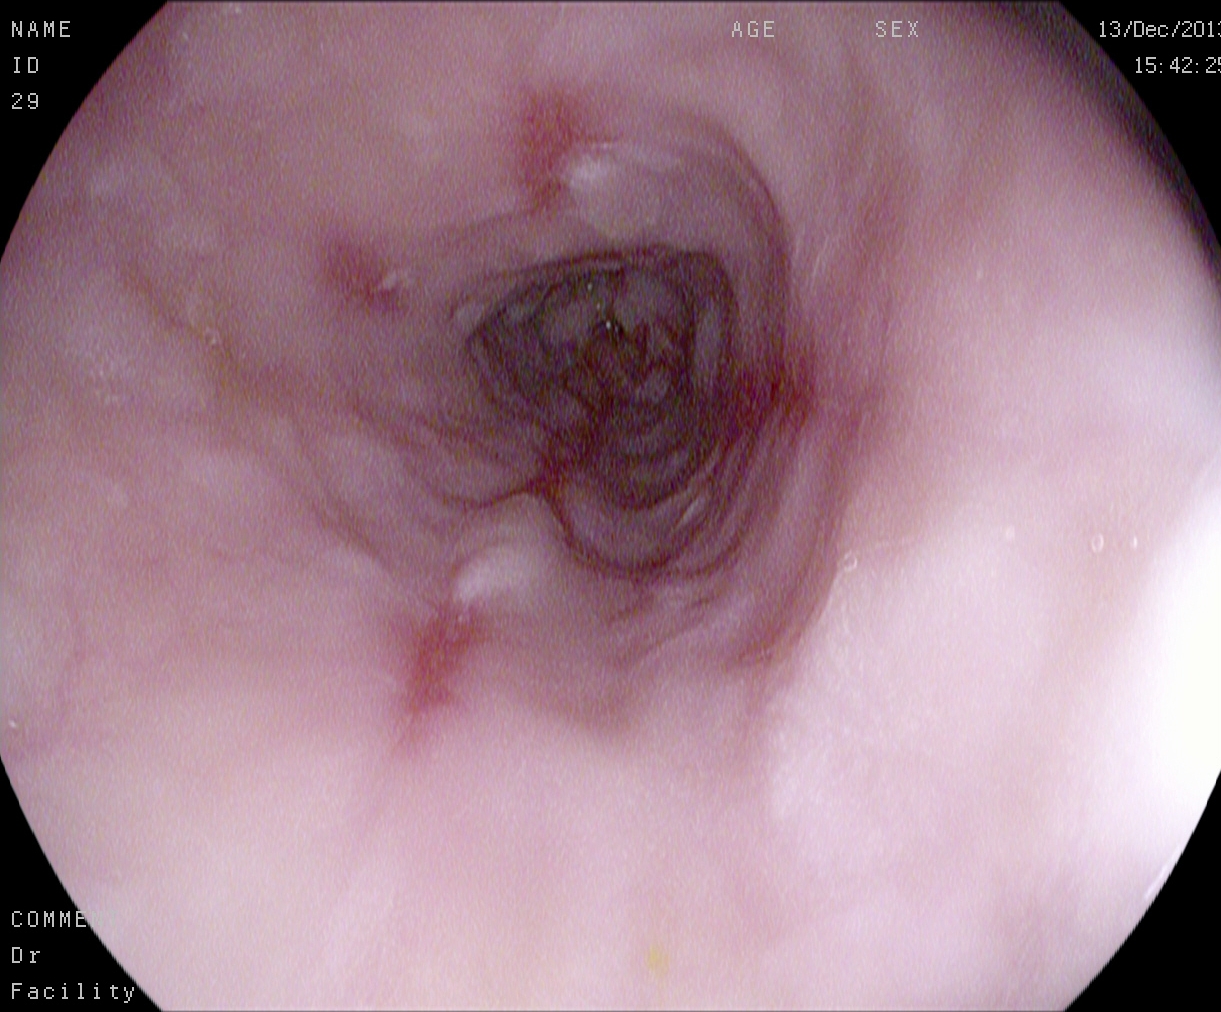PROCEDURE: EGD.
CATEGORY: Pathological finding.
FINDINGS: Reflux esophagitis, LA grade B–D.